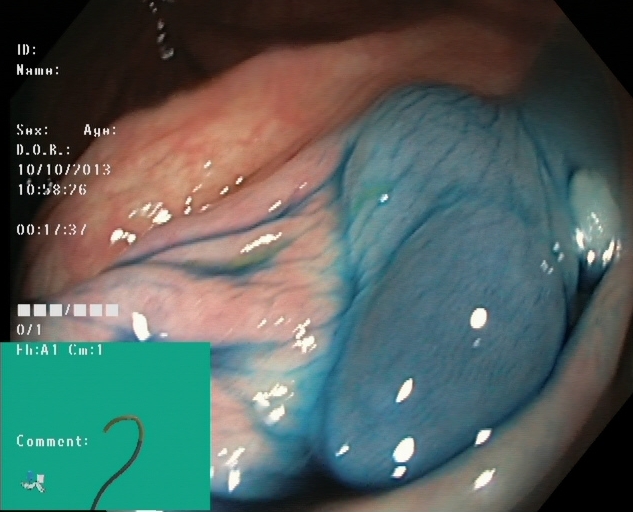Endoscopic frame showing dyed and lifted polyp (pre-resection).